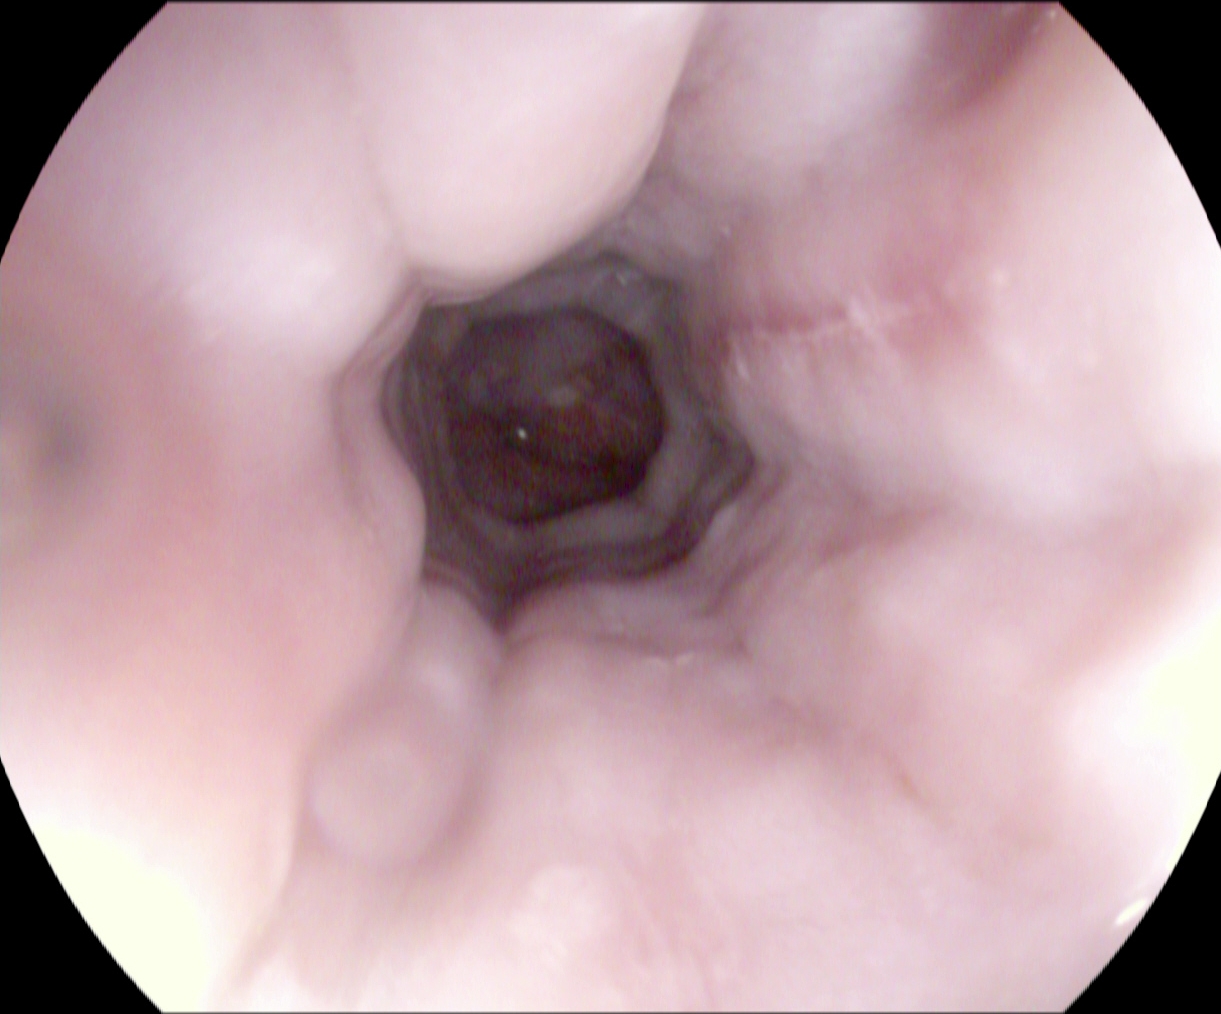Upper-GI endoscopy. Tract: upper GI tract. Pathological finding. Finding: reflux esophagitis, LA grade B–D.